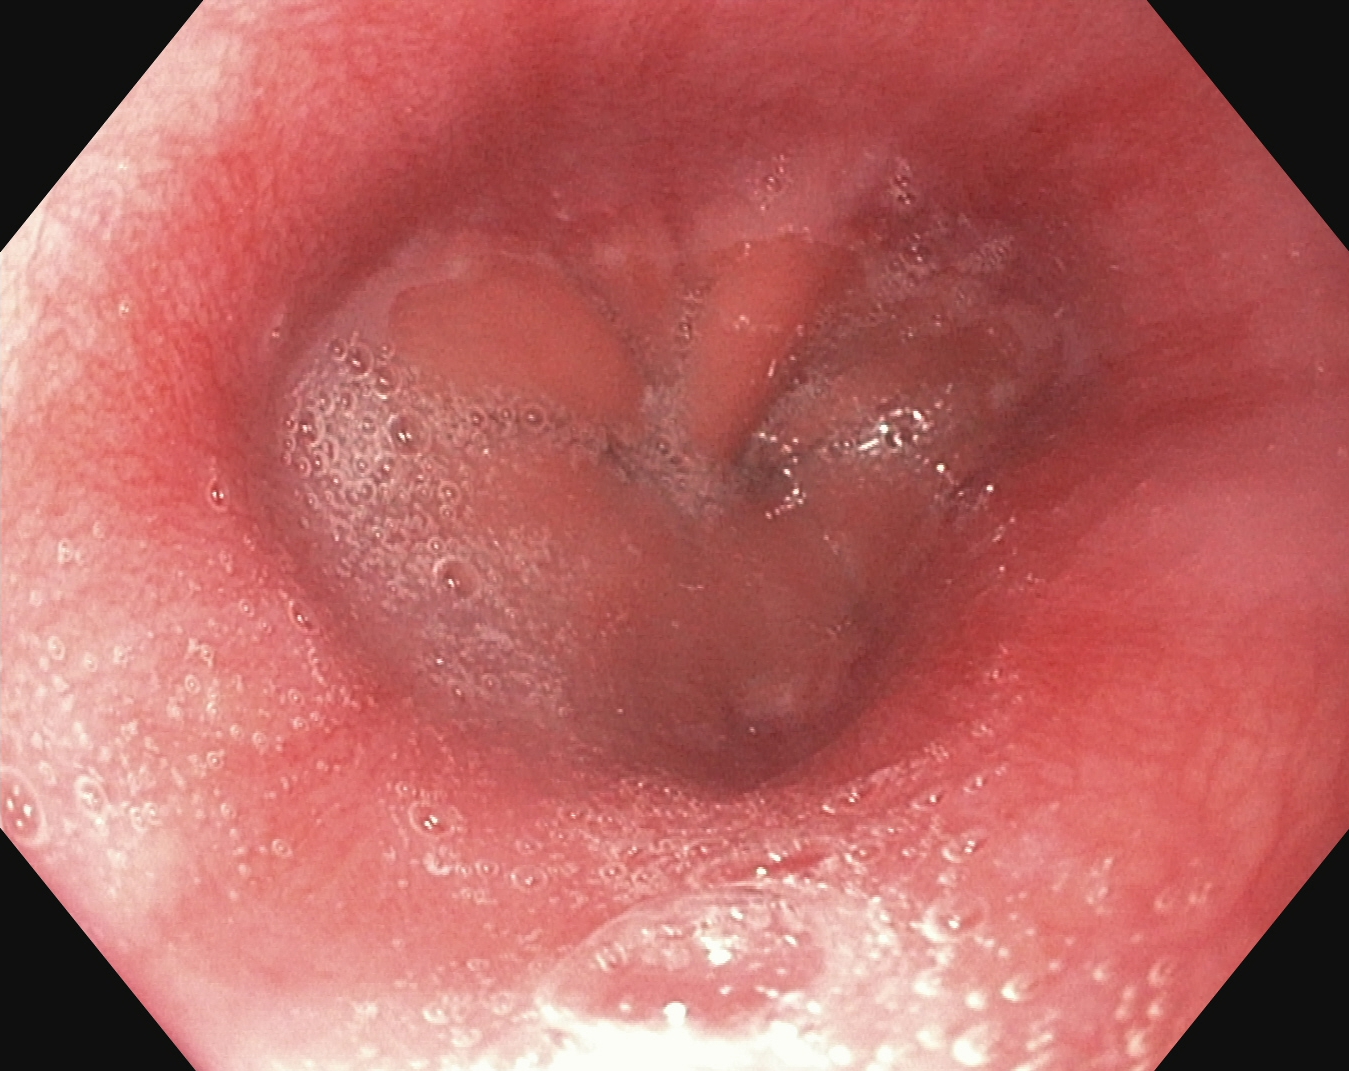Z-line (gastroesophageal junction).